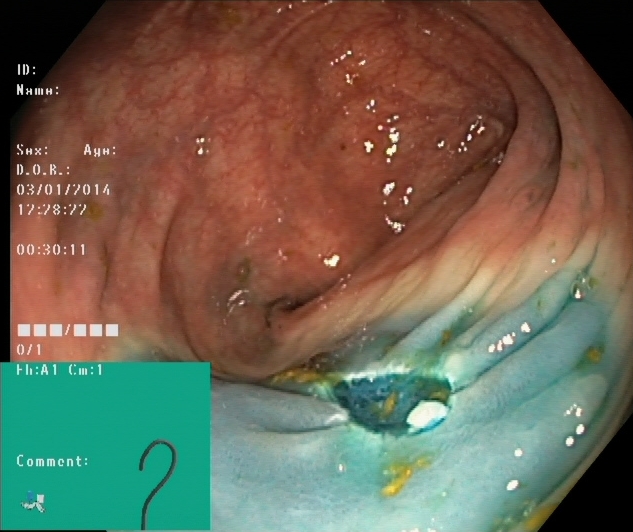GI endoscopy image of the lower GI tract showing dyed resection margins (post-polypectomy).